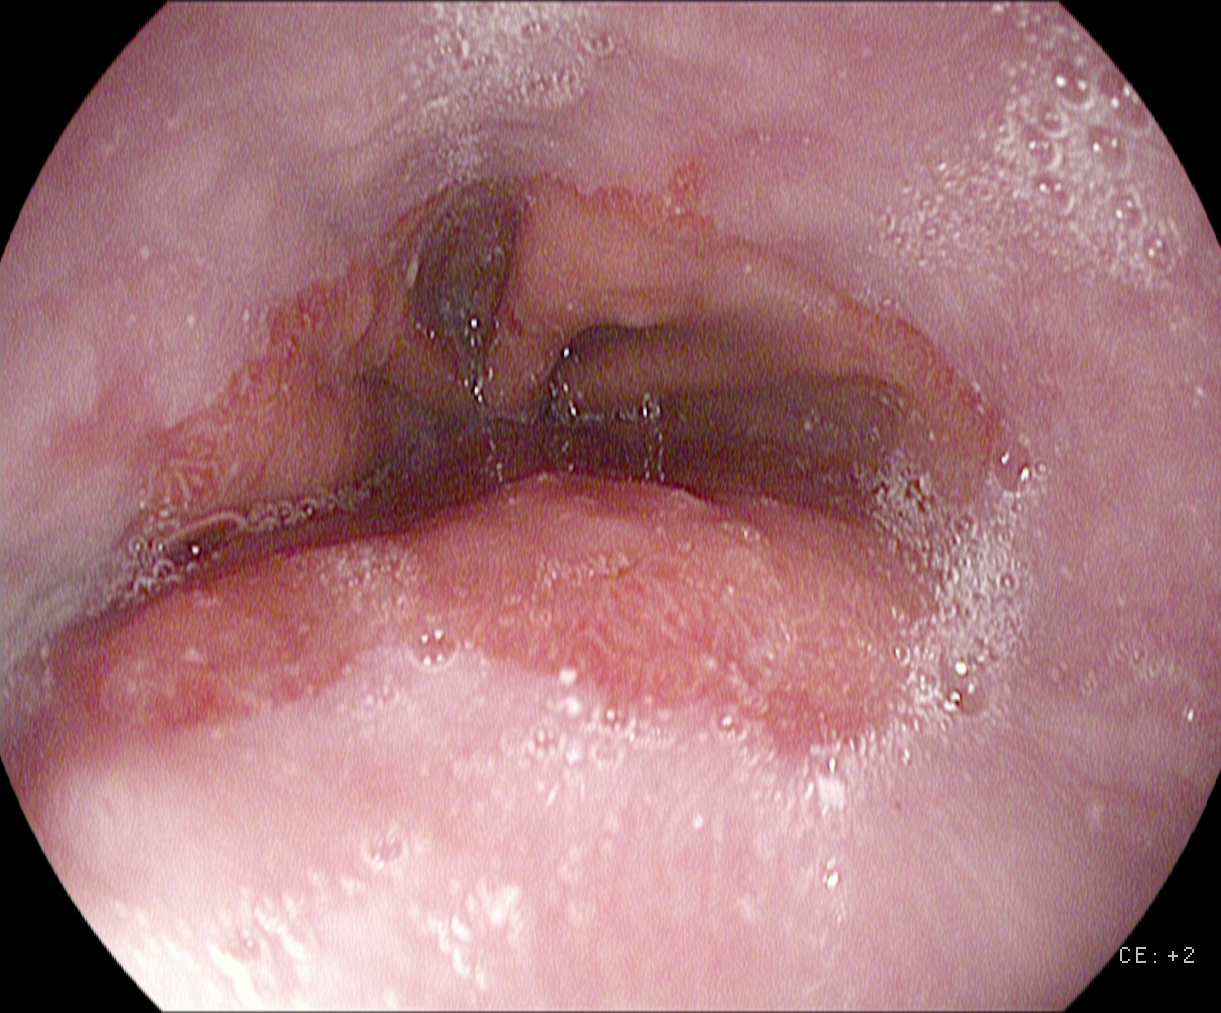PROCEDURE: Gastroscopy.
FINDINGS: Reflux esophagitis, Los Angeles grade A.